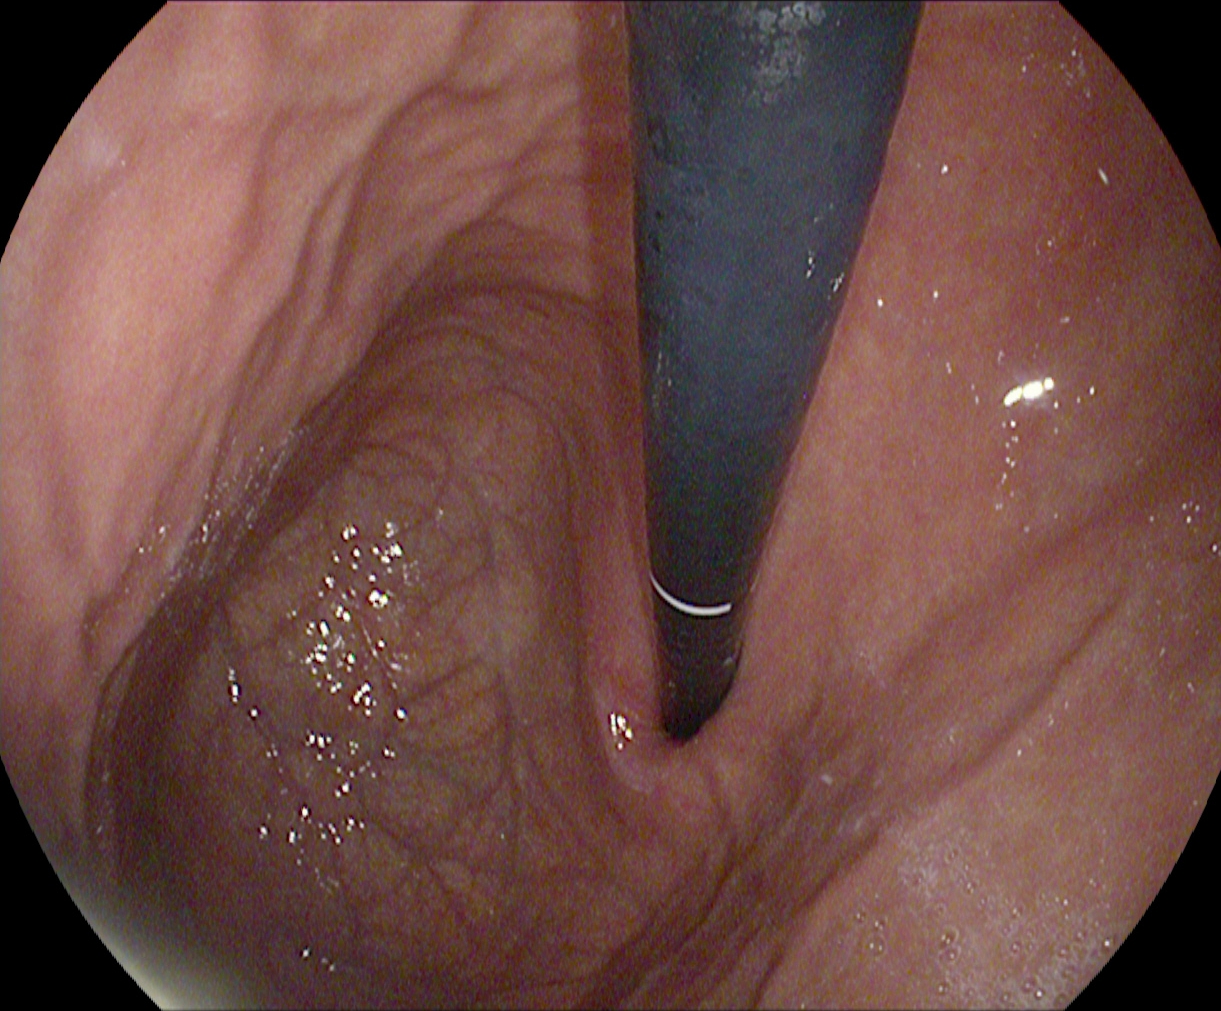{"modality": "esophagogastroduodenoscopy", "finding": "stomach in retroflexion"}